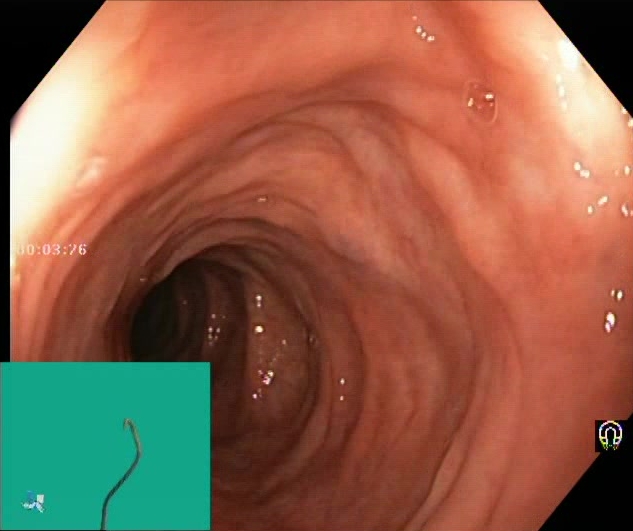modality: colonoscopy; category: mucosal-view quality; finding: BBPS score 2–3 (adequate preparation)